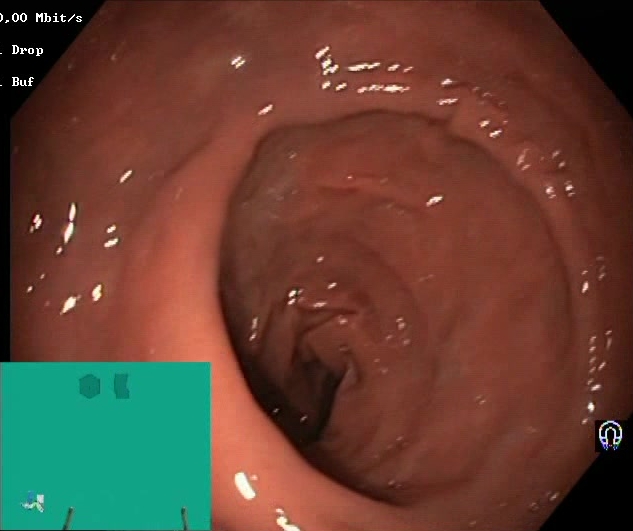{"modality": "colonoscopy", "tract": "lower GI tract", "finding": "BBPS score 2\u20133 (adequate preparation)"}